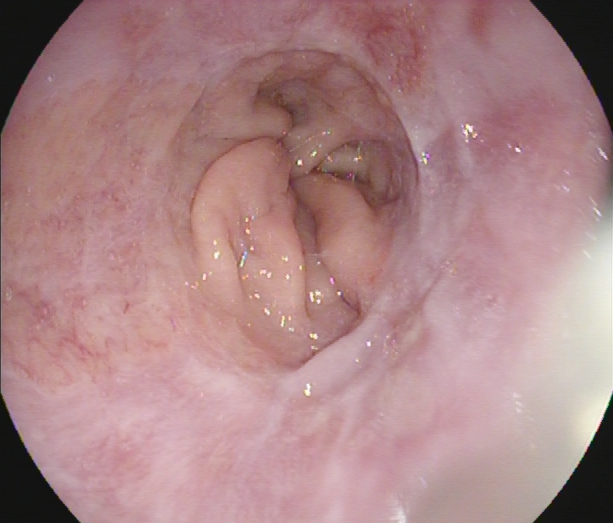modality: esophagogastroduodenoscopy
finding: reflux esophagitis, Los Angeles grade A